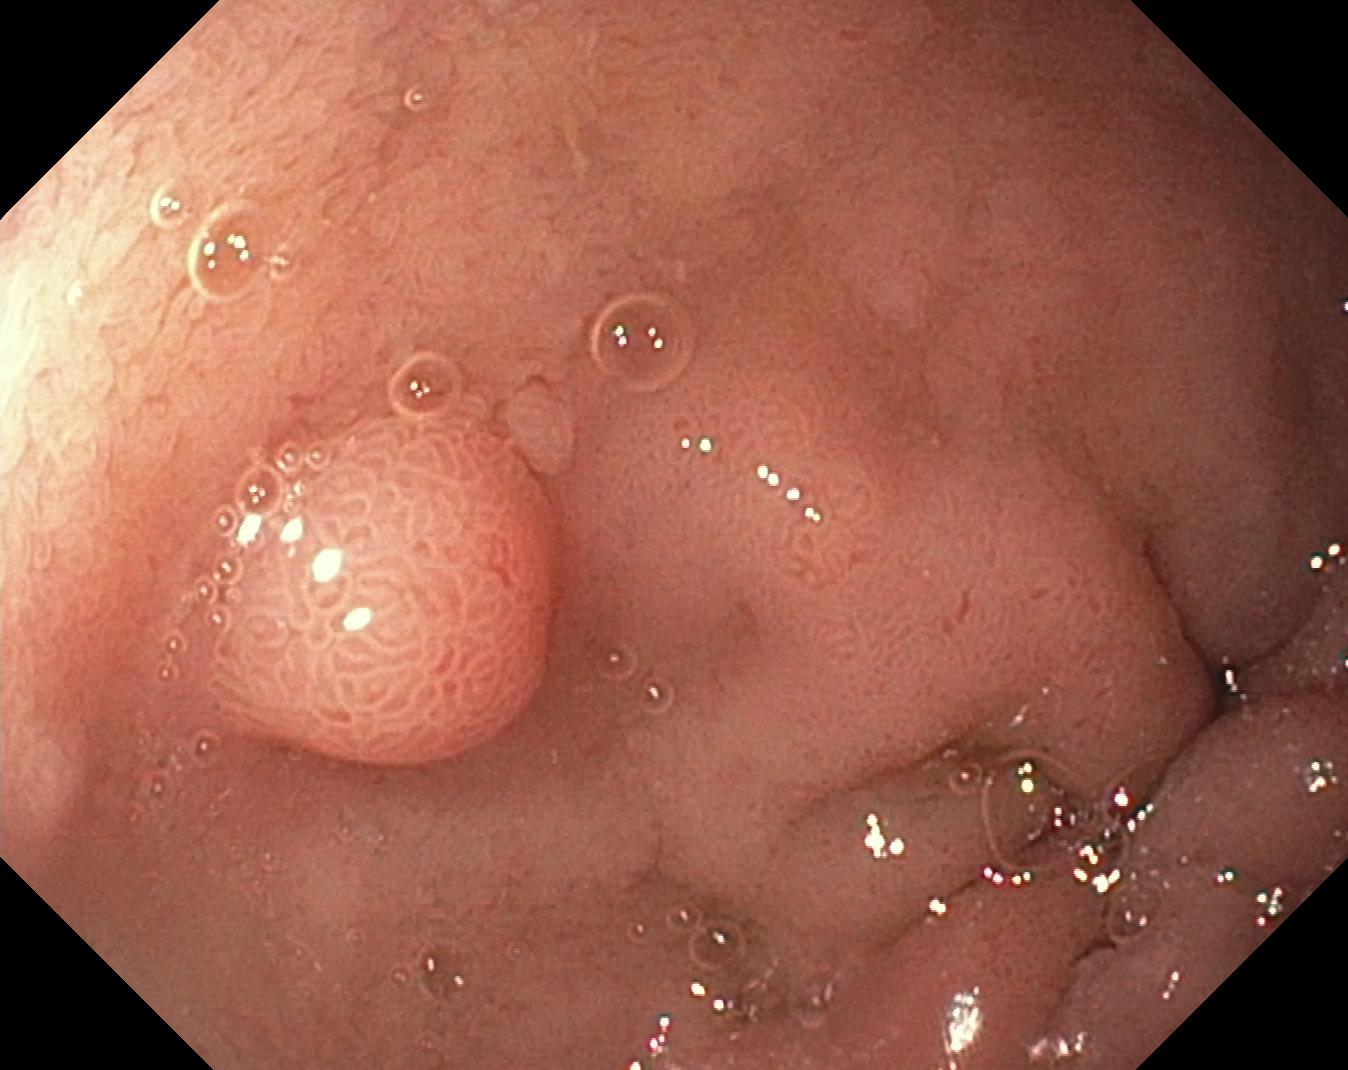Lower-GI endoscopy. Finding: colorectal polyp(s).